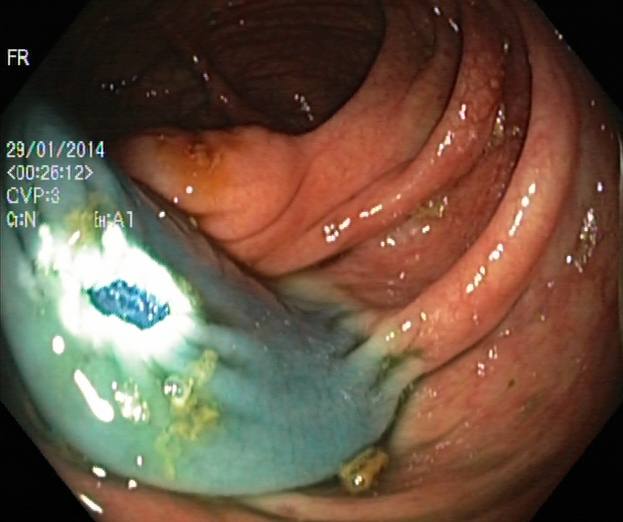Dyed resection margins (post-polypectomy).